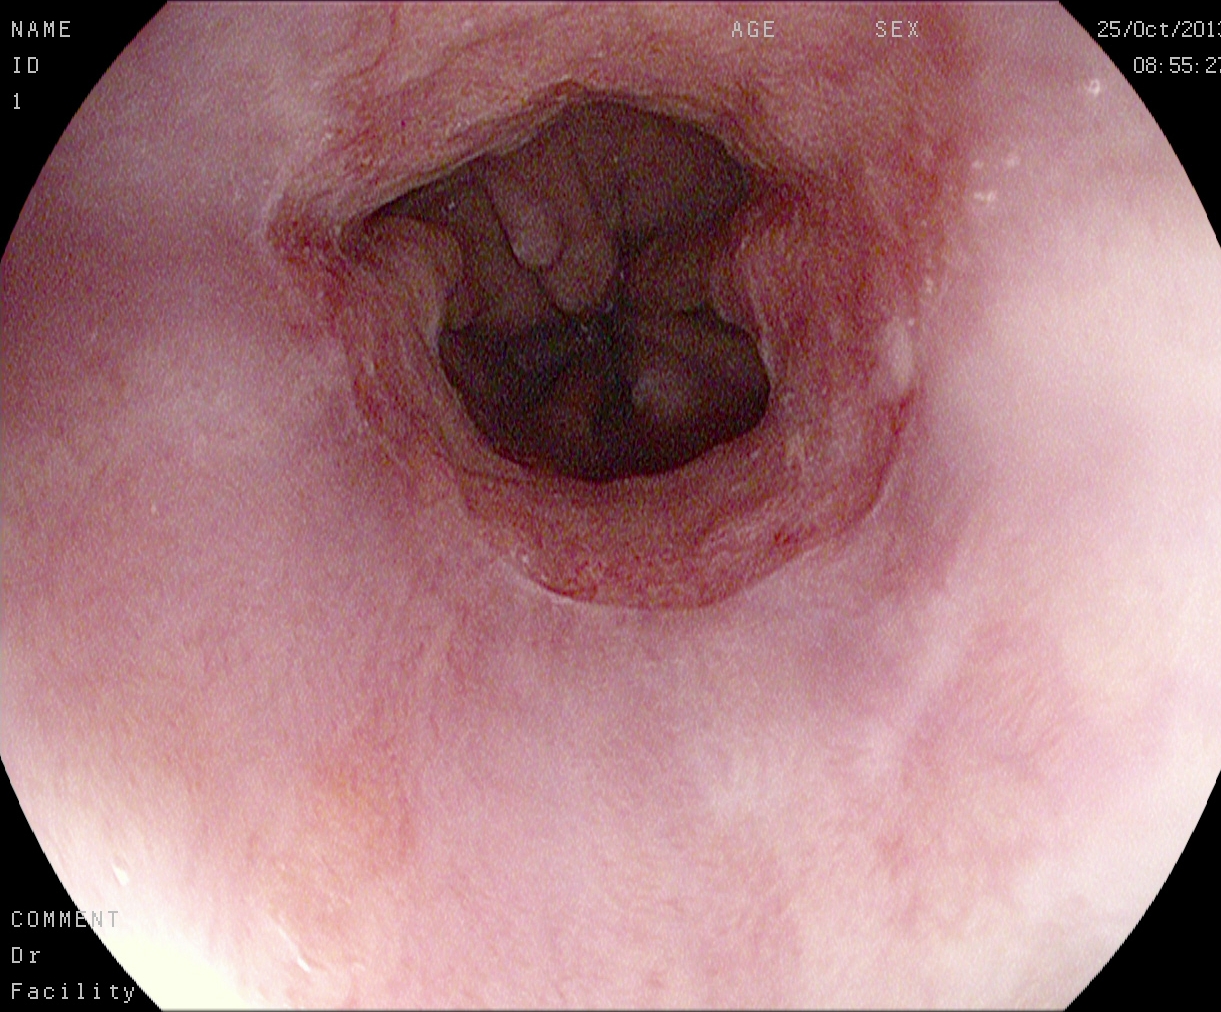EGD. Finding: Barrett's esophagus.